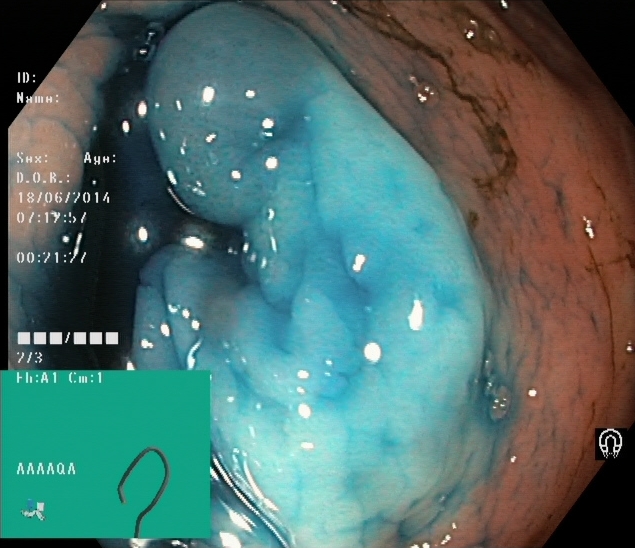Gastrointestinal endoscopy image showing dyed and lifted polyp (pre-resection).